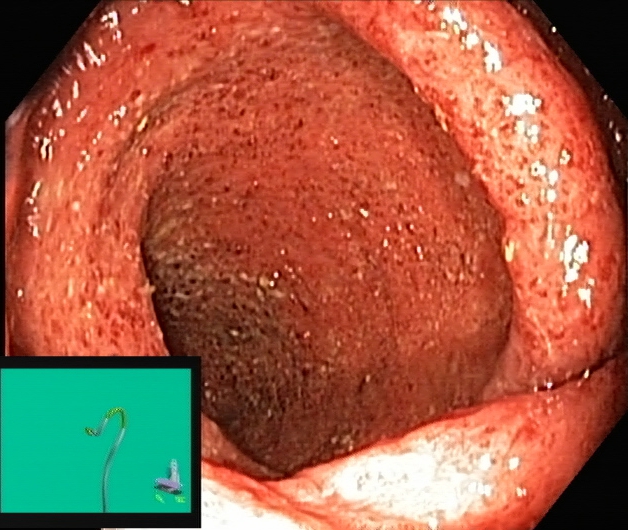This endoscopy frame of the lower GI tract shows ulcerative colitis, Mayo endoscopic subscore 3.